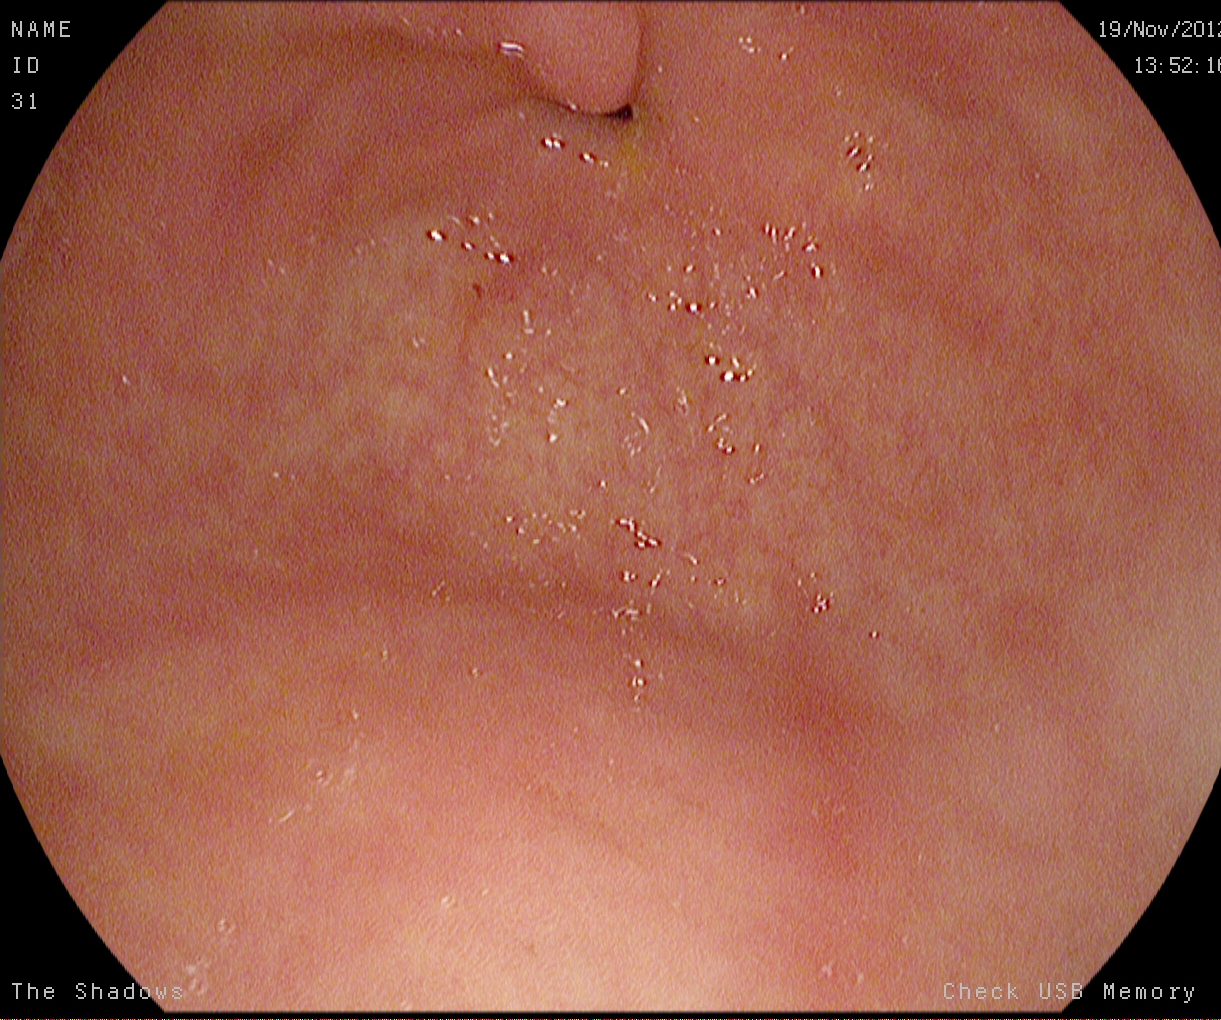modality: EGD | category: anatomical landmark | finding: pylorus